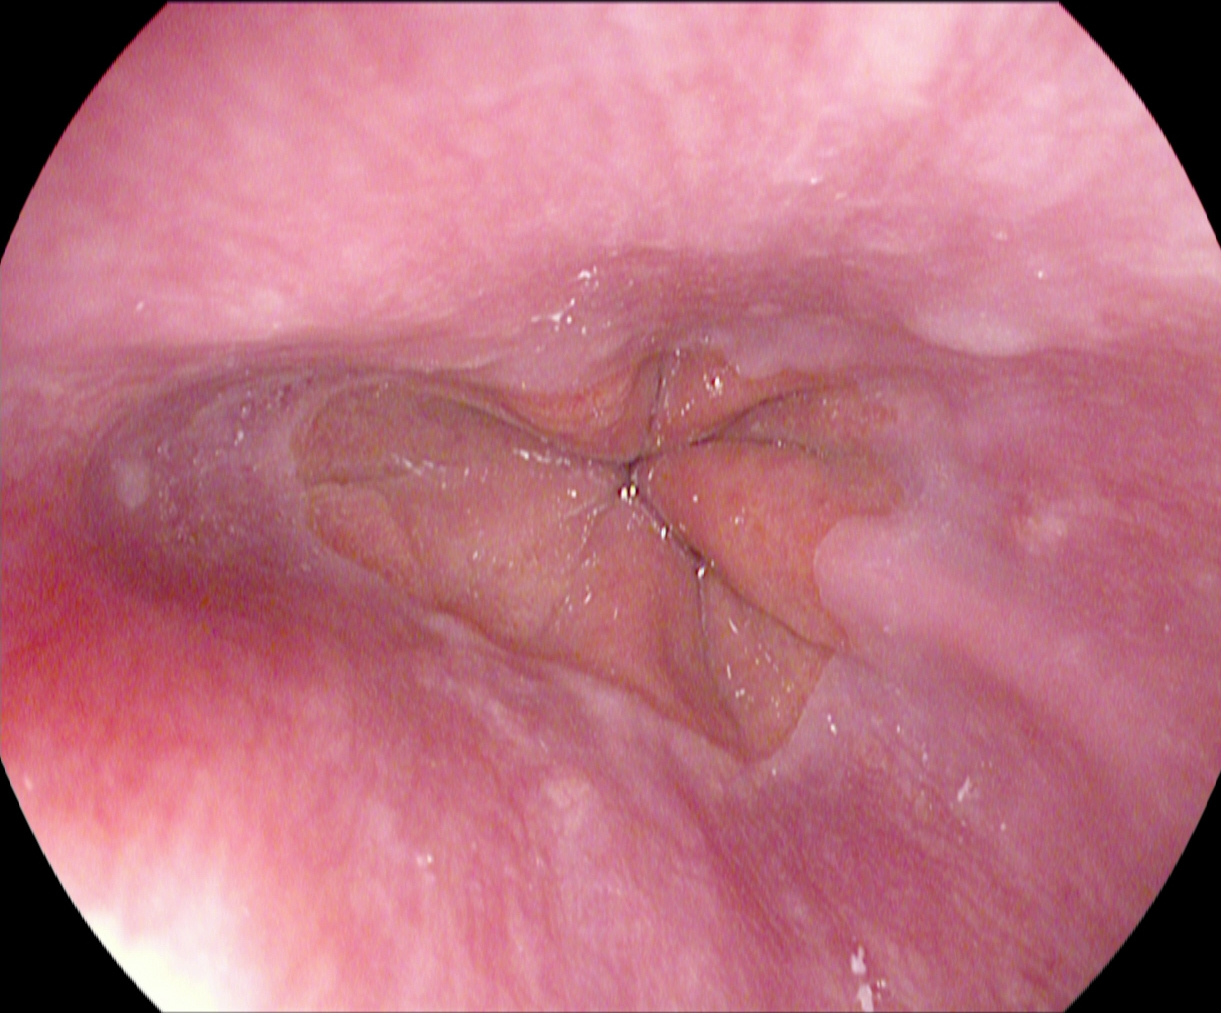Esophagogastroduodenoscopy — Z-line (gastroesophageal junction).